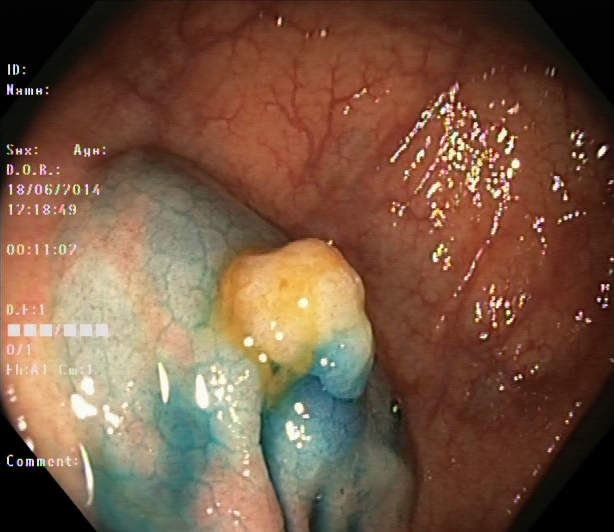modality: colonoscopy
tract: lower GI tract
finding: dyed and lifted polyp (pre-resection)